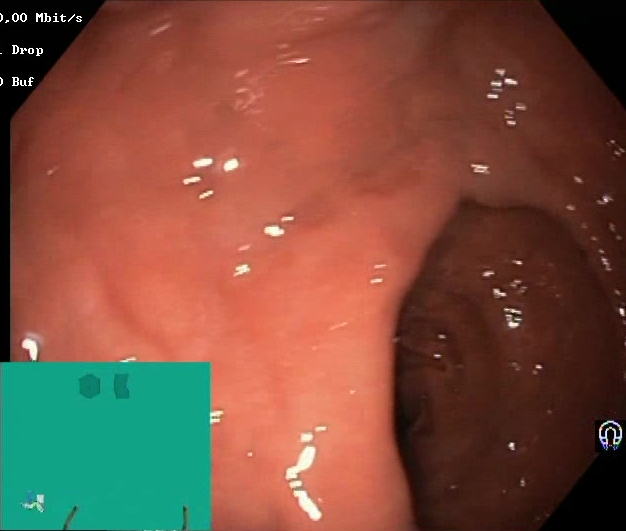modality: lower gastrointestinal endoscopy; tract: lower GI tract; finding: Boston Bowel Preparation Scale score 2–3 (adequate preparation)